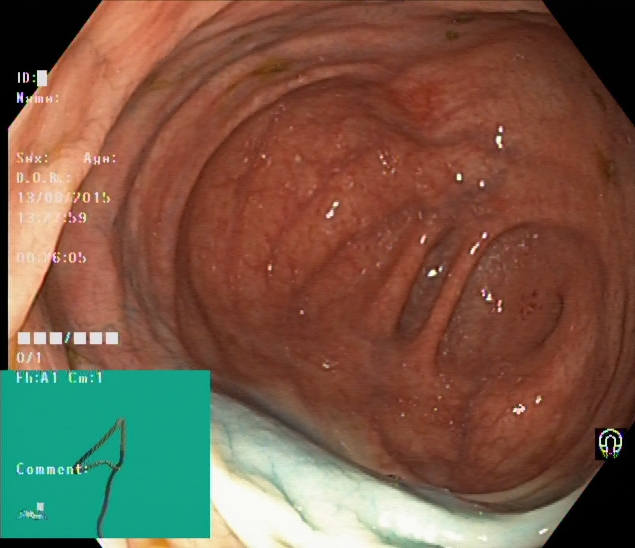cecum.